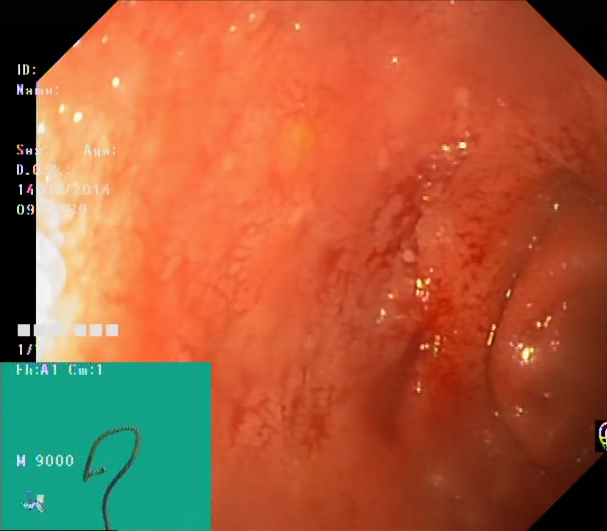Colonoscopy. Tract: lower GI tract. Finding: ulcerative colitis, Mayo endoscopic subscore 2.